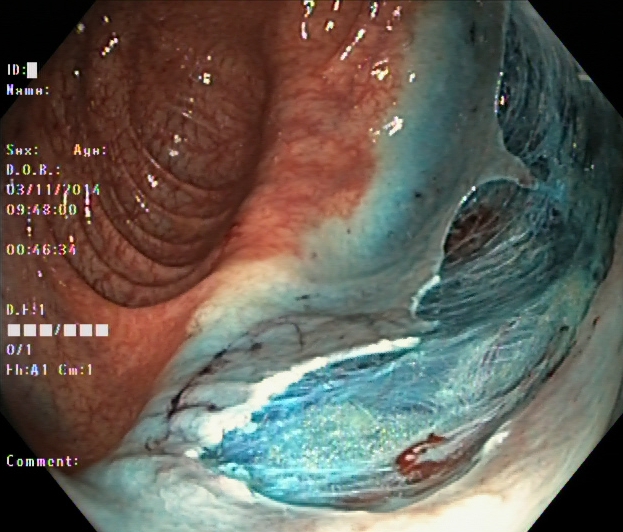Dyed resection margins (post-polypectomy).